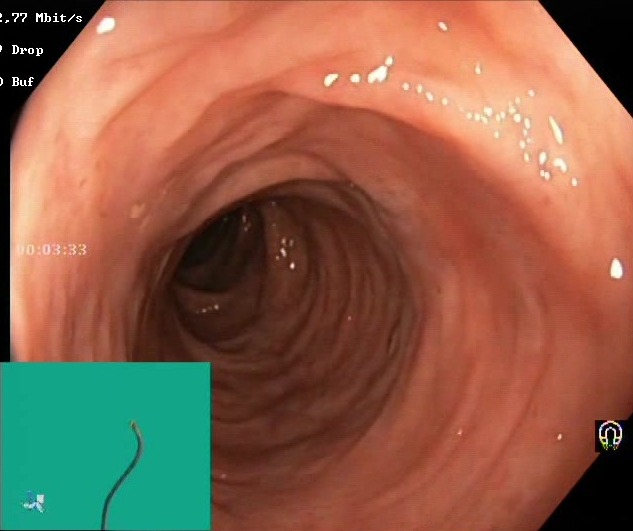GI endoscopy image of the lower GI tract showing Boston Bowel Preparation Scale score 2–3 (adequate preparation).